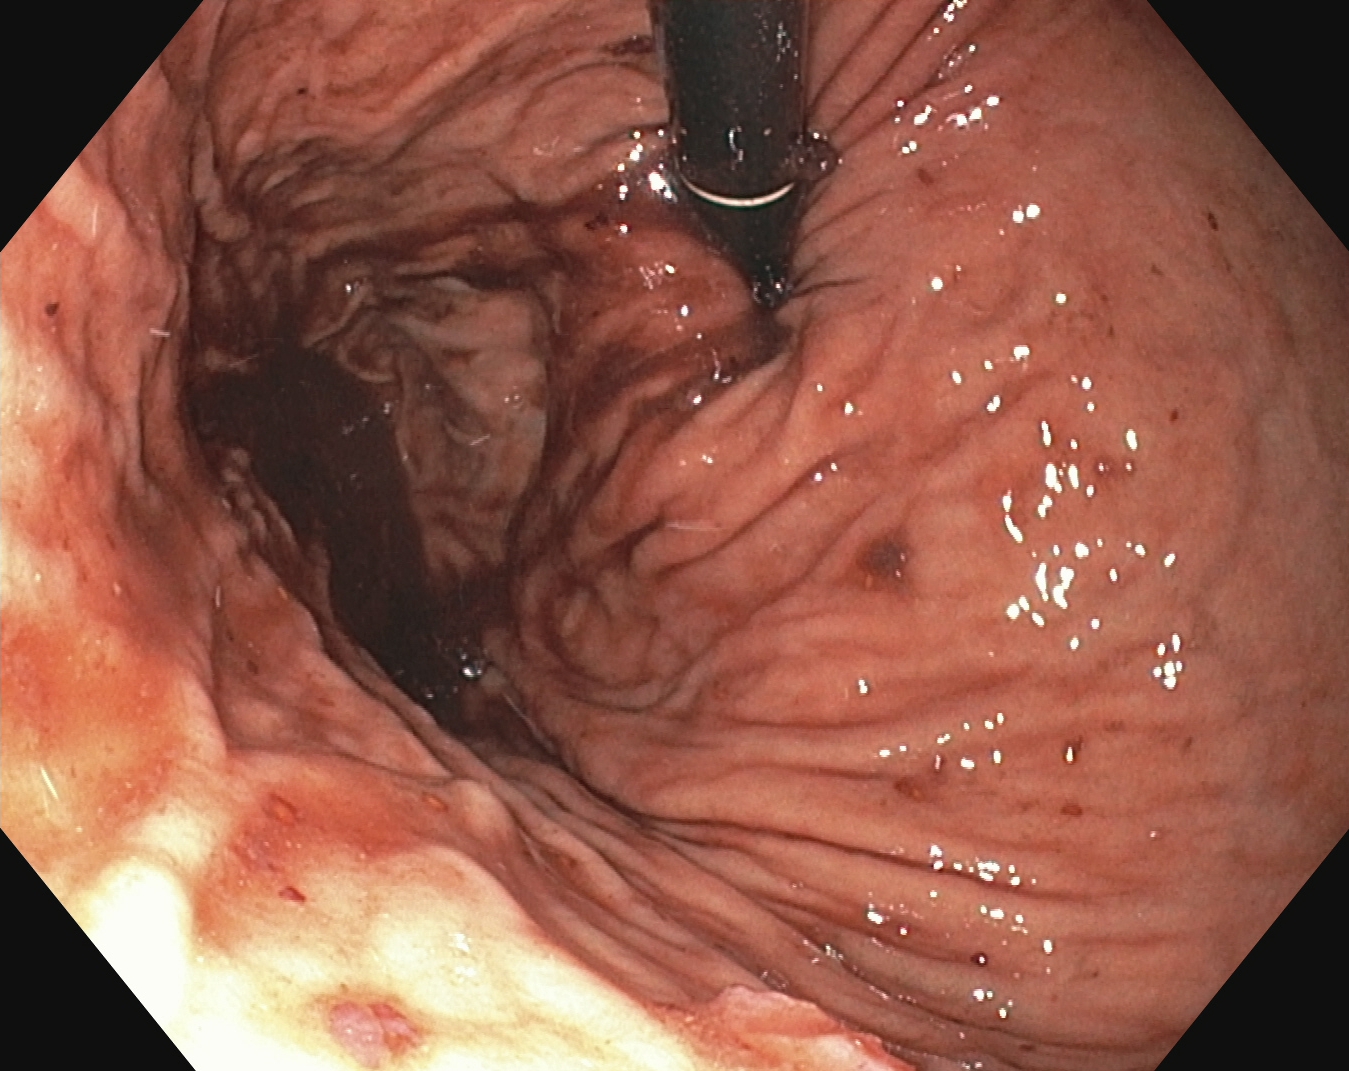Esophagogastroduodenoscopy. Finding: stomach in retroflexion.